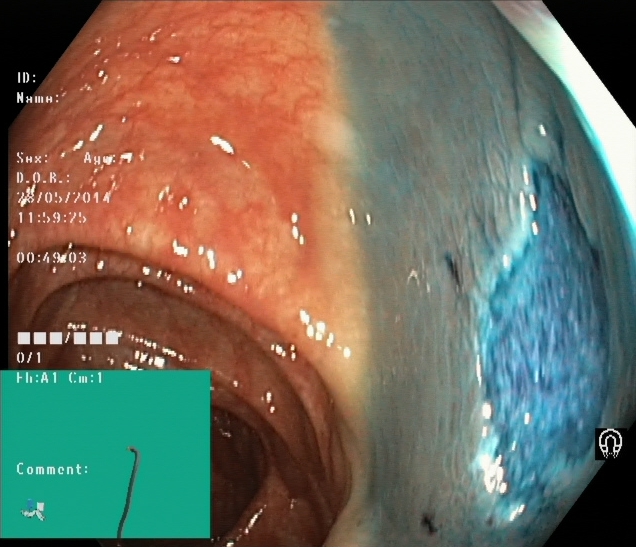Dyed resection margins (post-polypectomy).